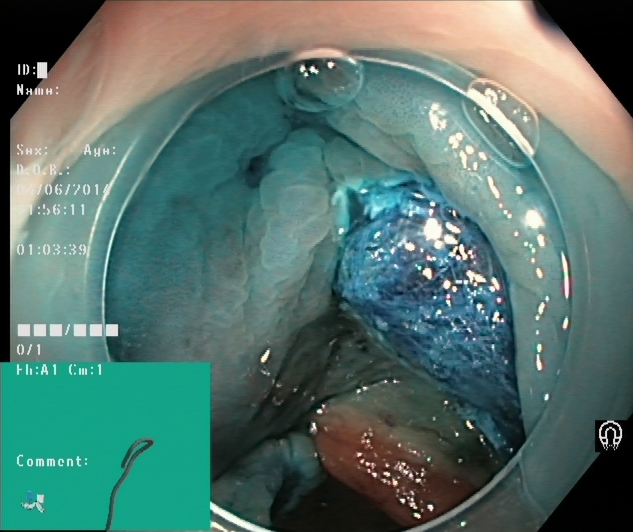Lower-GI endoscopy — dyed resection margins (post-polypectomy).